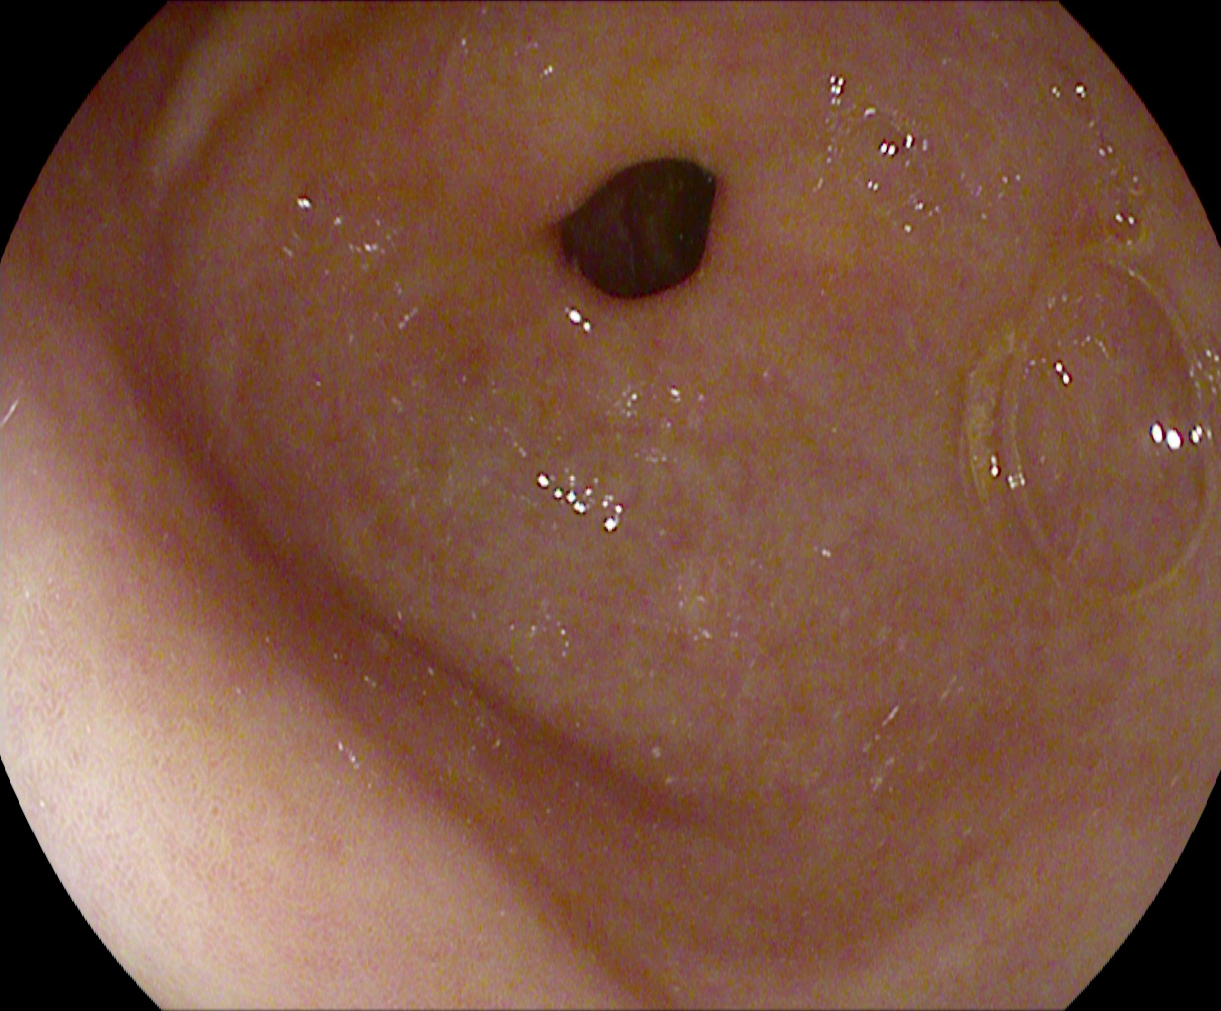Esophagogastroduodenoscopy image showing pylorus.